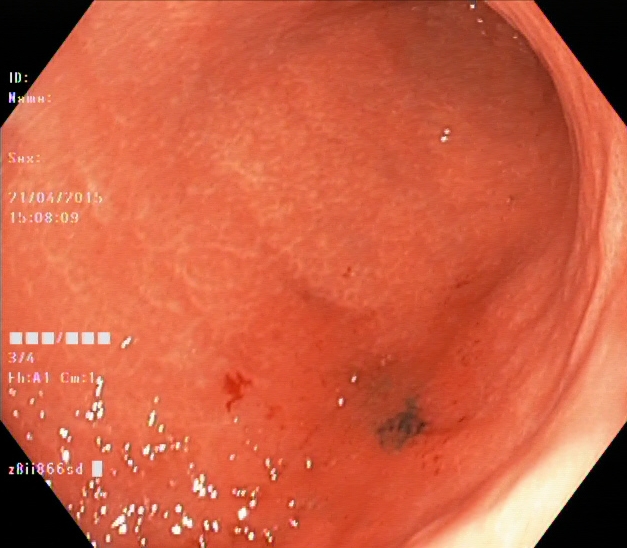Ulcerative colitis, Mayo endoscopic subscore 1.